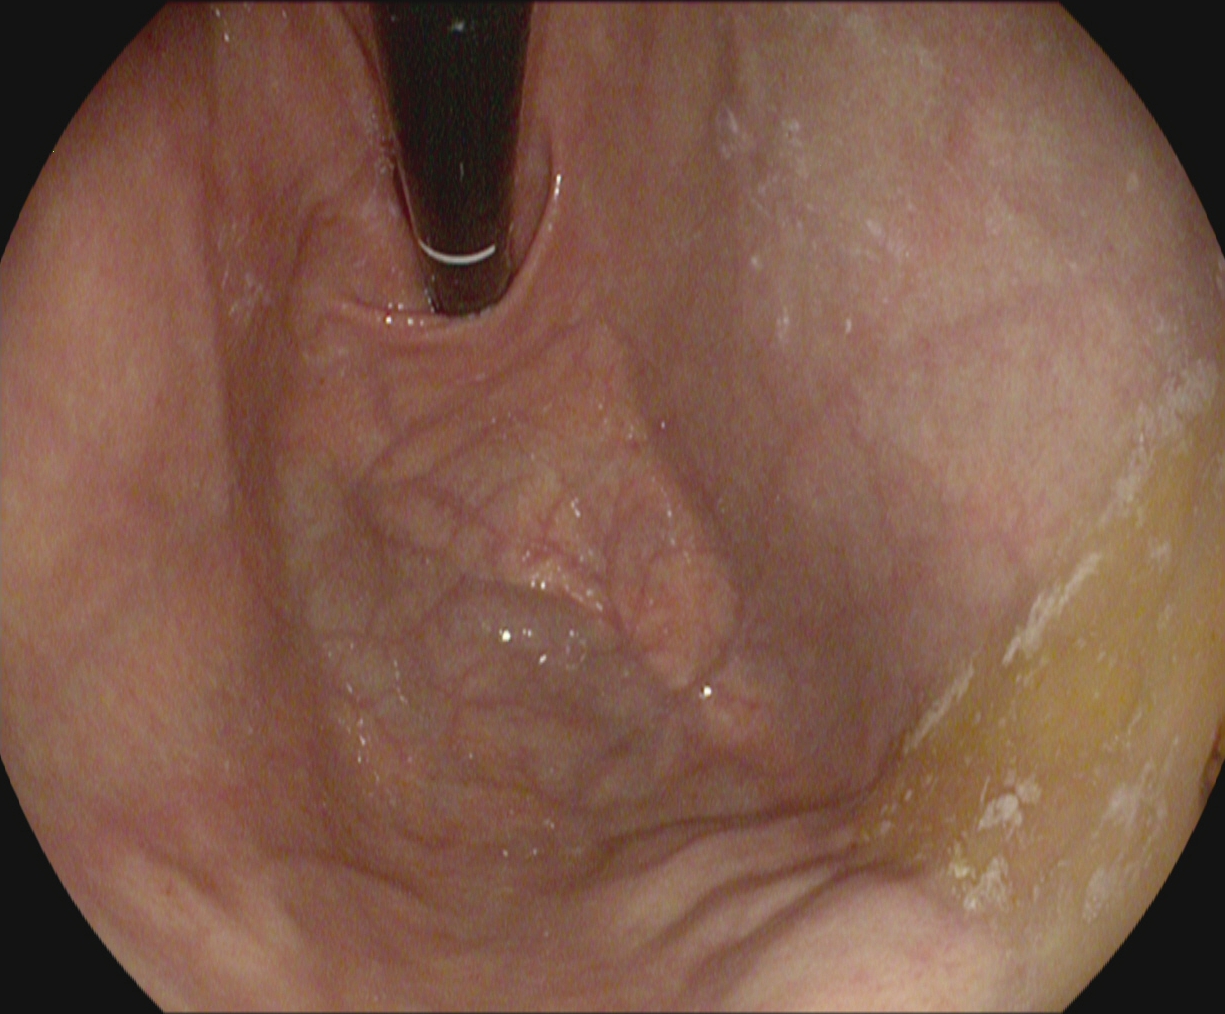{"modality": "gastroscopy", "tract": "upper GI tract", "finding": "stomach in retroflexion"}